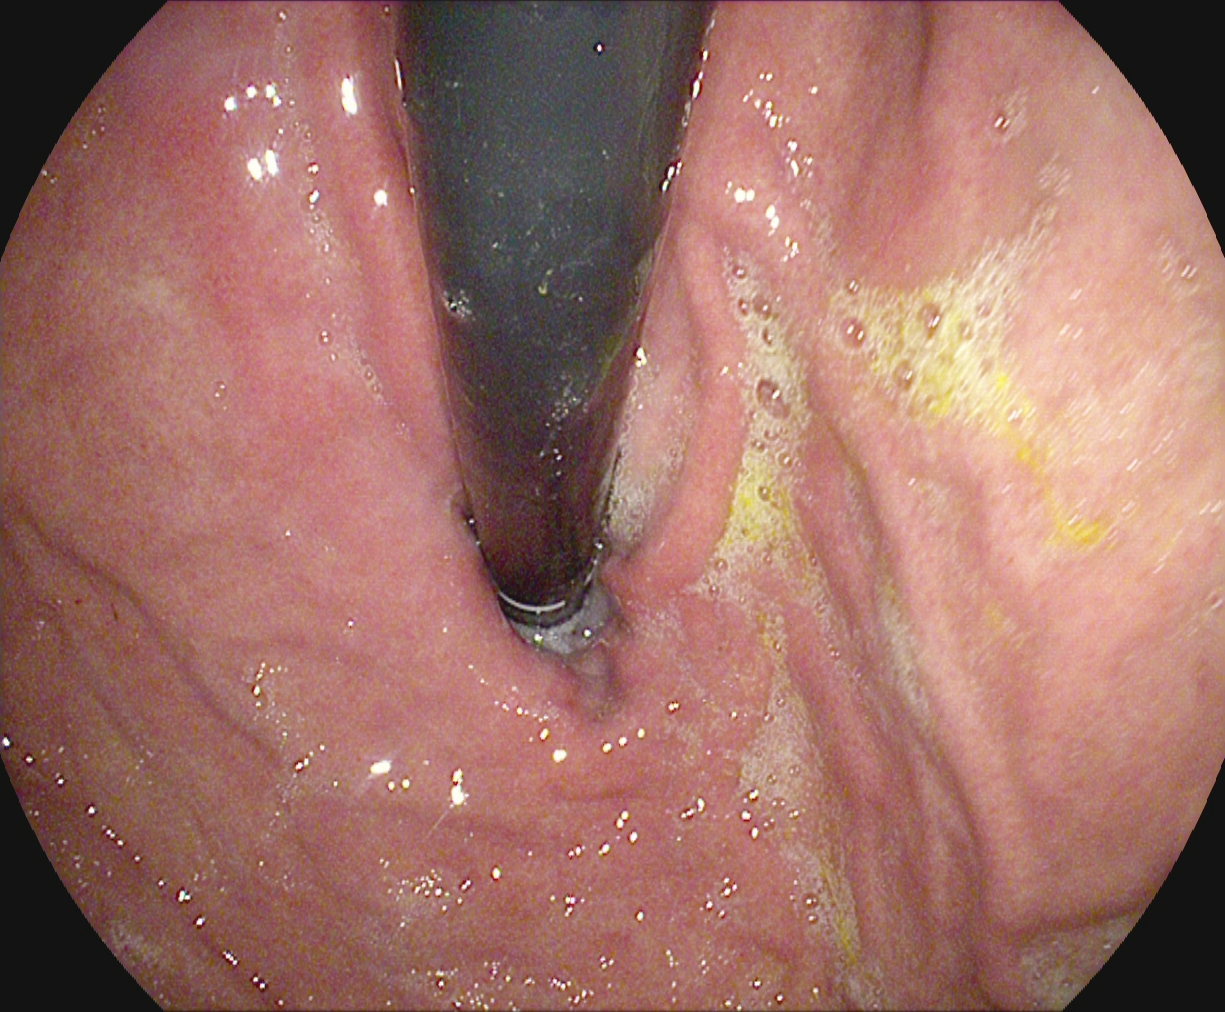Upper-GI endoscopy — stomach in retroflexion.